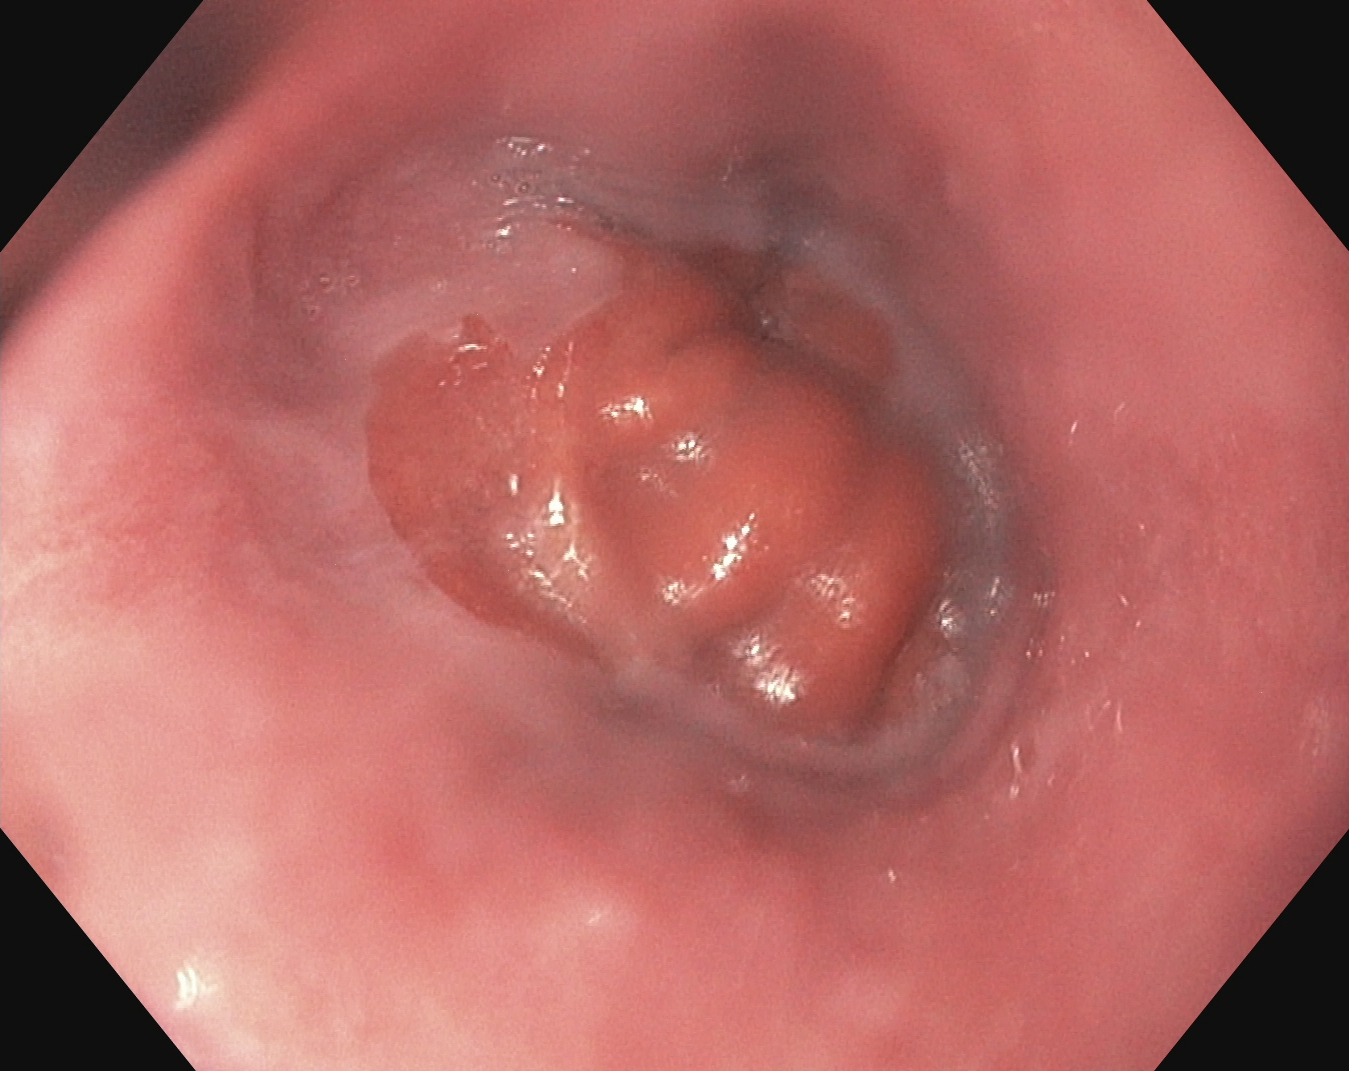modality: gastroscopy | tract: upper GI tract | finding: Z-line (gastroesophageal junction)